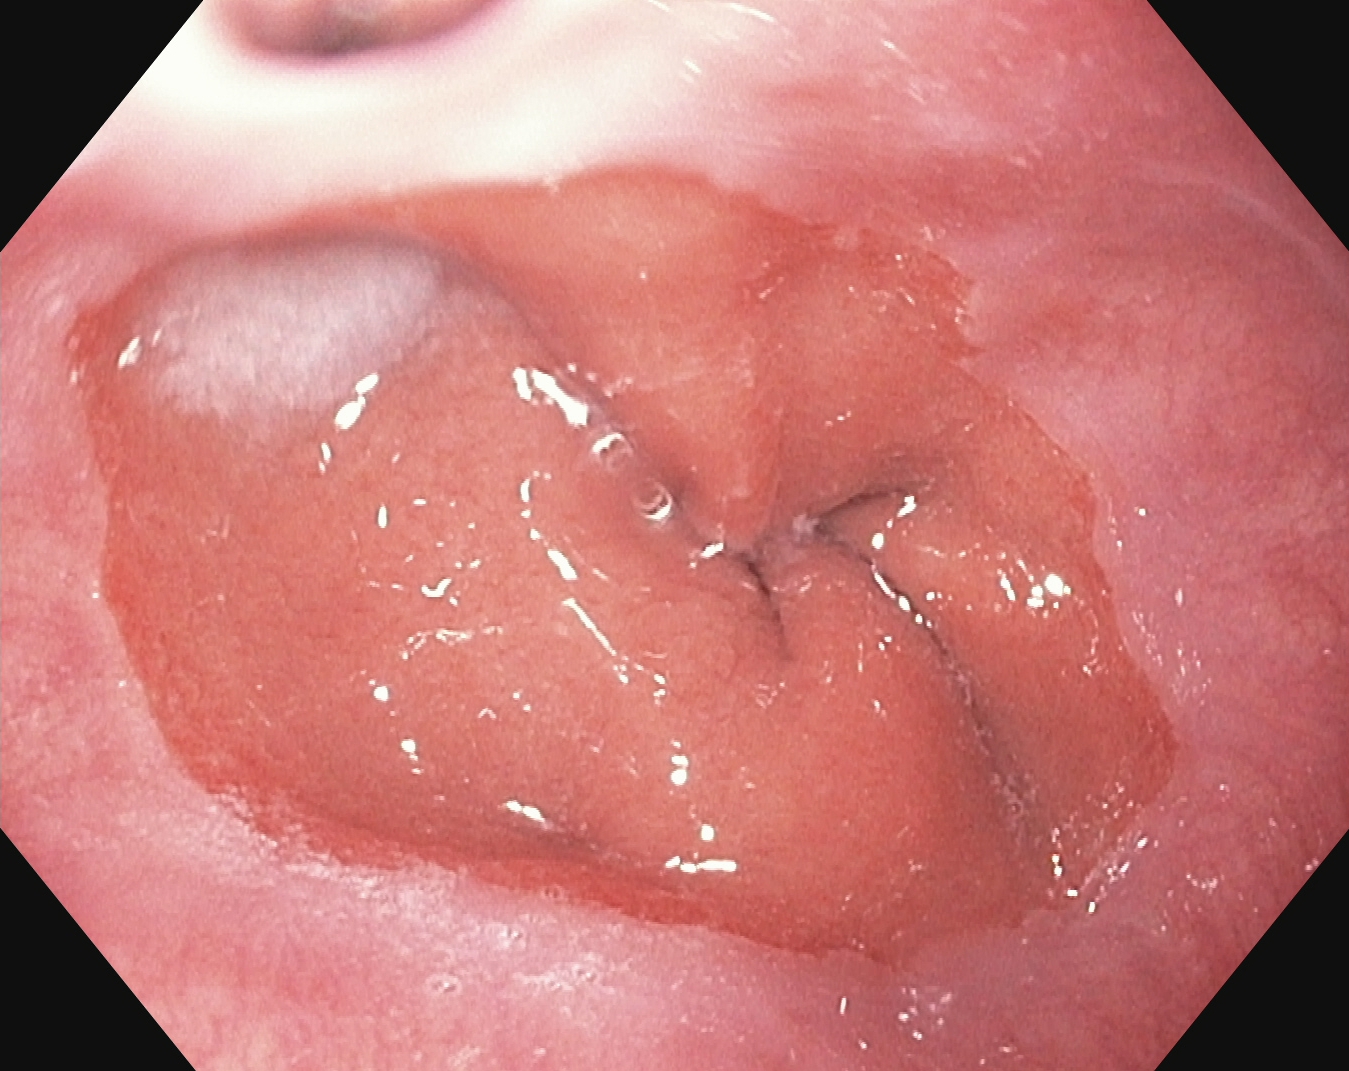Z-line (gastroesophageal junction).